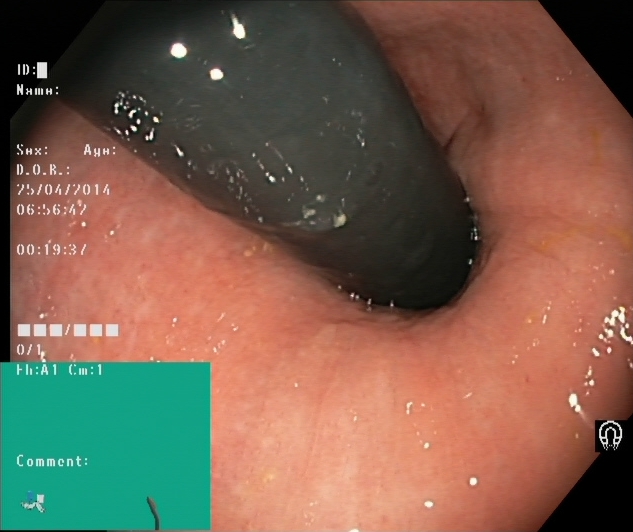PROCEDURE: Lower-GI endoscopy.
CATEGORY: Anatomical landmark.
FINDINGS: Rectum in retroflexion.